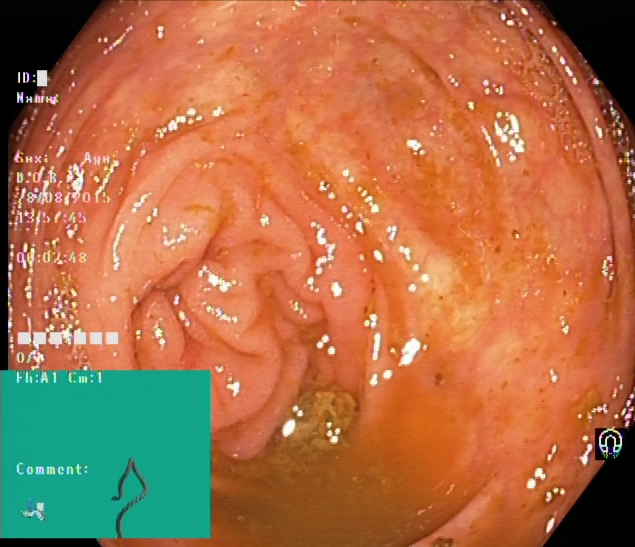Colonoscopy. Tract: lower GI tract. Finding: cecum.